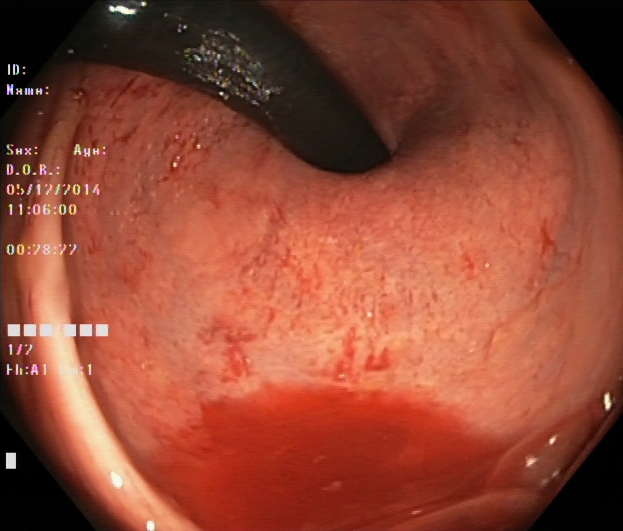Rectum in retroflexion.